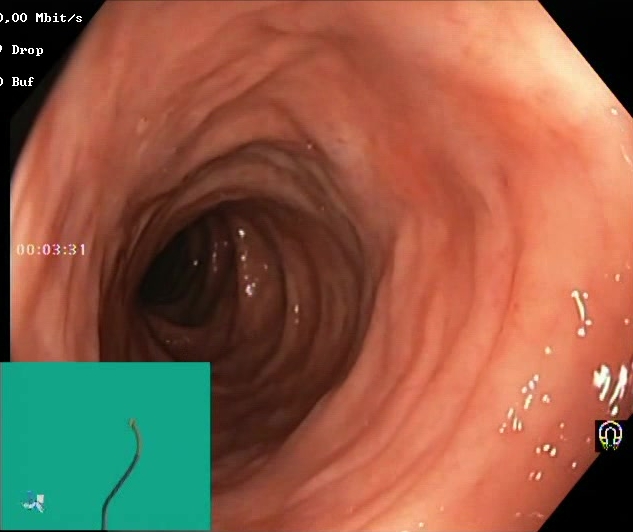Lower-GI endoscopy image showing Boston Bowel Preparation Scale score 2–3 (adequate preparation).